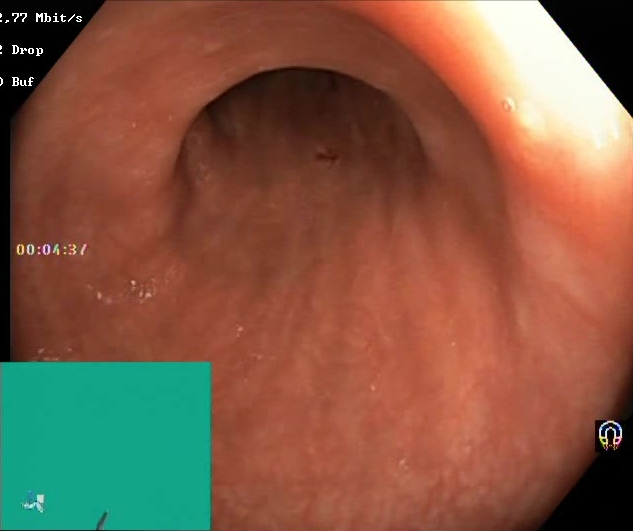Endoscopic image of the lower GI tract showing Boston Bowel Preparation Scale score 2–3 (adequate preparation).